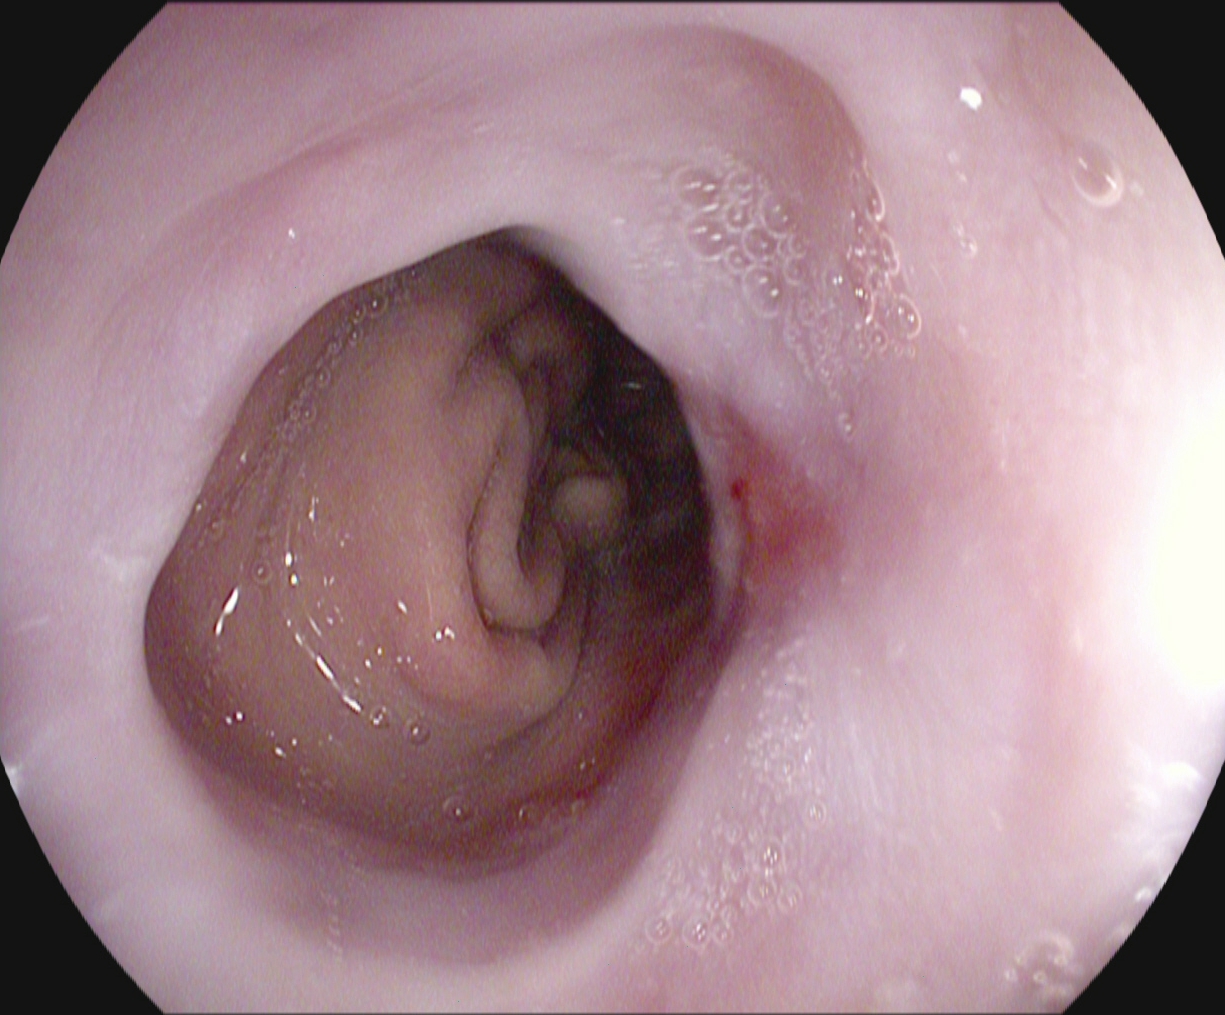Gastroscopy. Tract: upper GI tract. Pathological finding. Finding: reflux esophagitis, Los Angeles grade A.